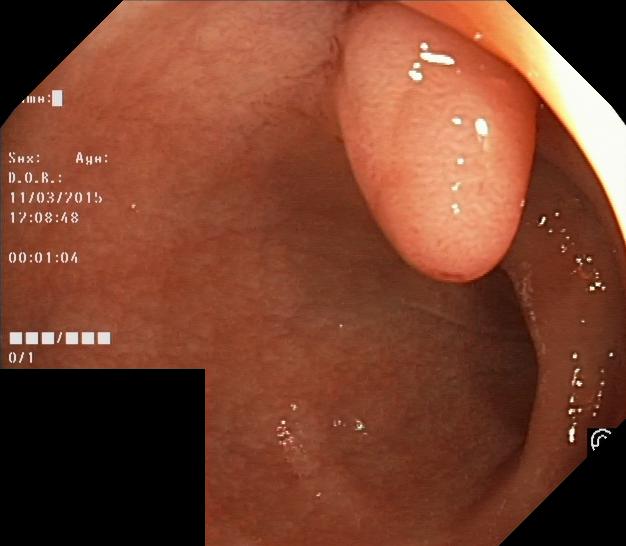{"modality": "lower-GI endoscopy", "tract": "lower GI tract", "category": "pathological finding", "finding": "colorectal polyp(s)"}